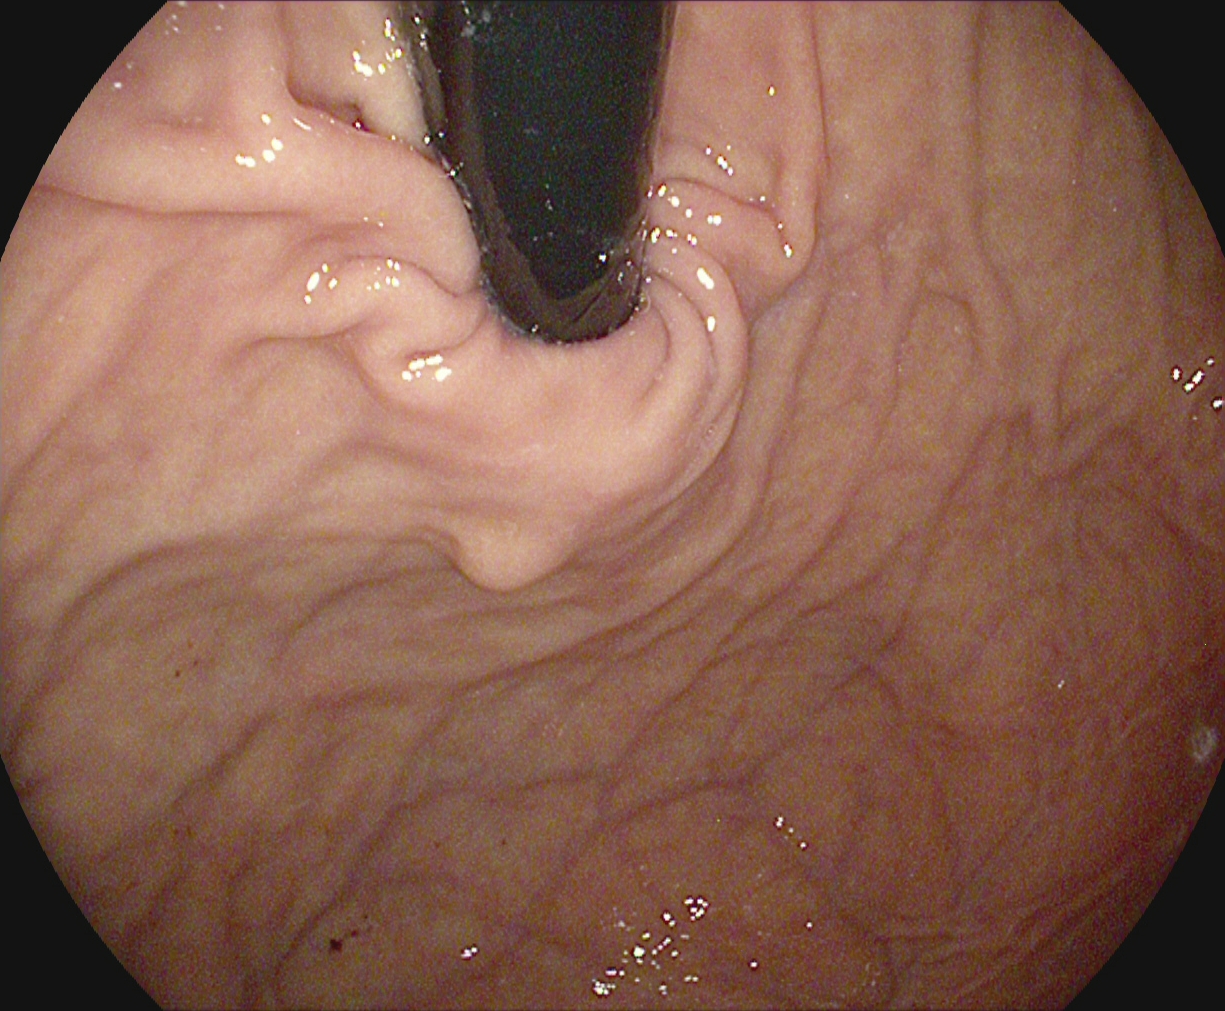Gastroscopy — stomach in retroflexion.